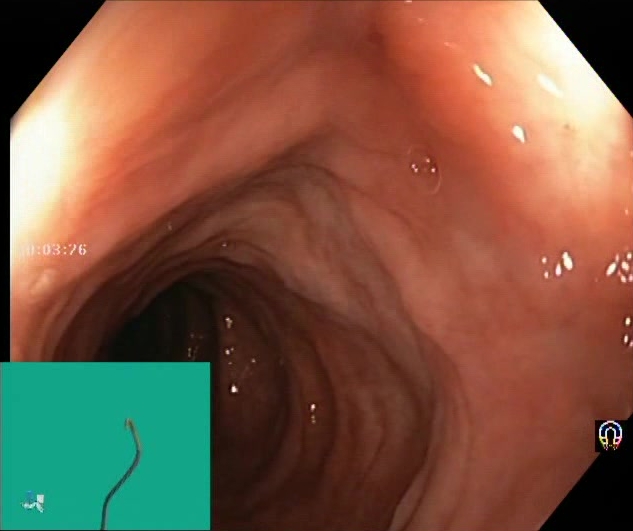Lower gastrointestinal endoscopy. Tract: lower GI tract. Finding: Boston Bowel Preparation Scale score 2–3 (adequate preparation).